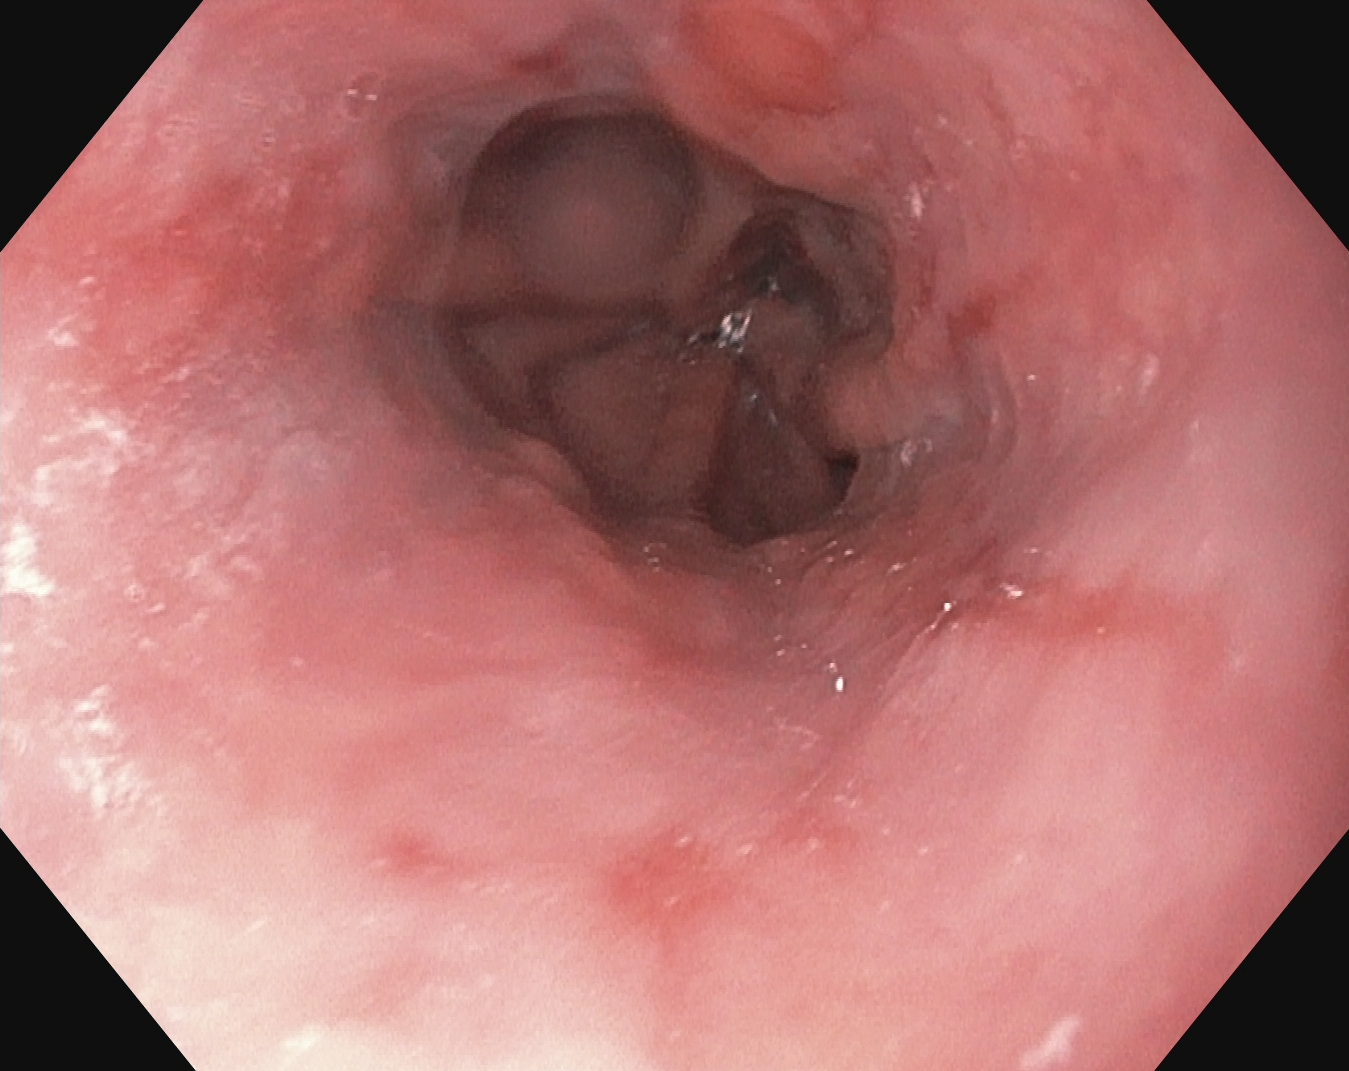PROCEDURE: Esophagogastroduodenoscopy.
FINDINGS: Reflux esophagitis, LA grade A.